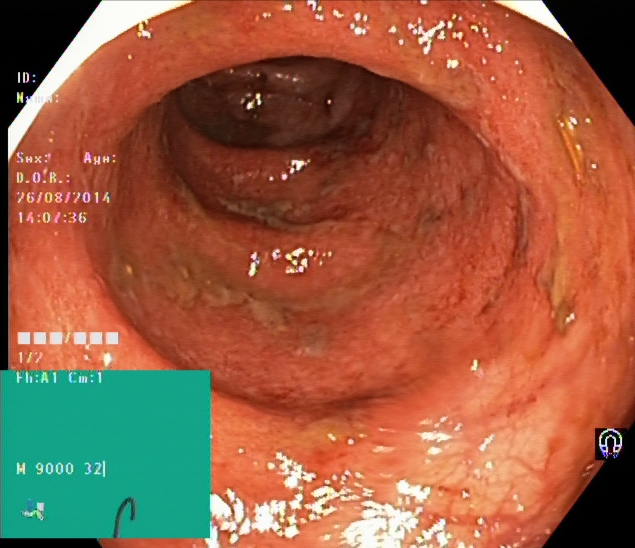Lower gastrointestinal endoscopy. Pathological finding. Finding: ulcerative colitis, Mayo endoscopic subscore 2.